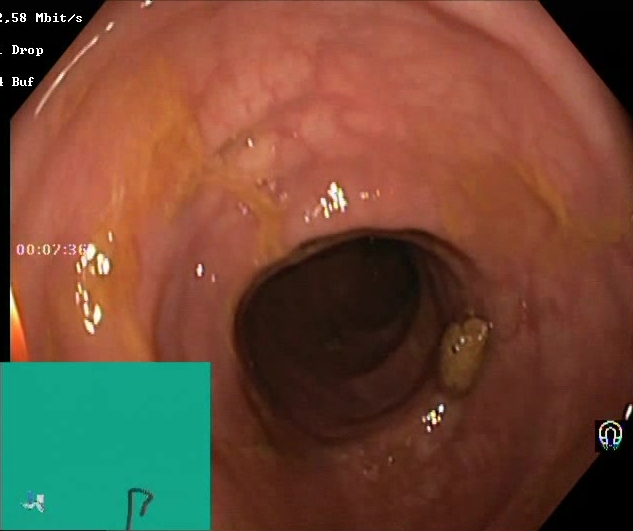PROCEDURE: Lower-GI endoscopy.
FINDINGS: BBPS score 2–3 (adequate preparation).